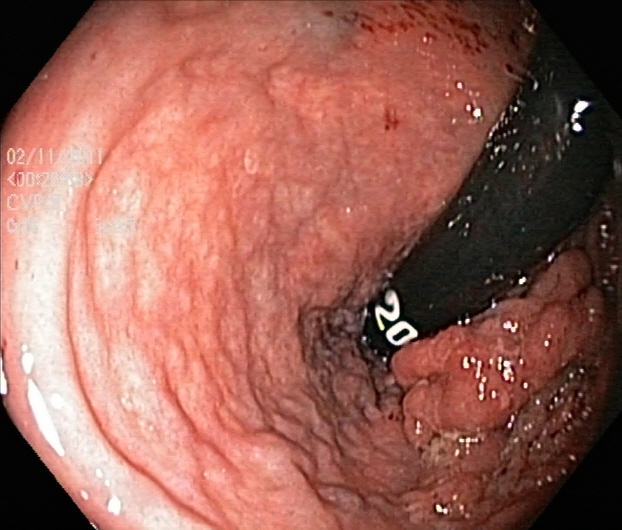PROCEDURE: Colonoscopy.
FINDINGS: Colorectal polyp(s).